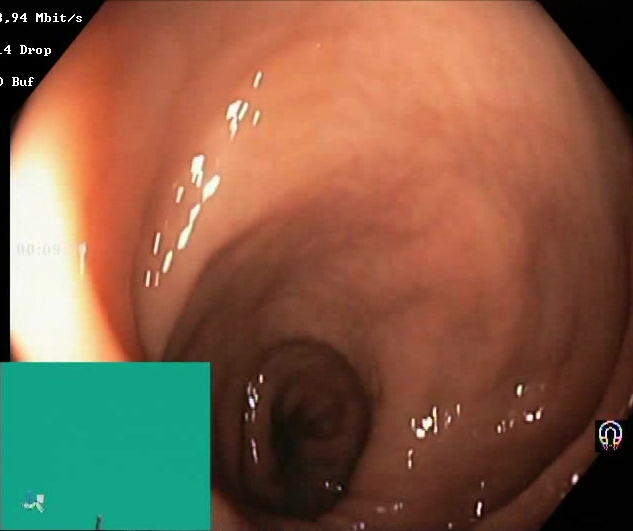{"modality": "lower-GI endoscopy", "tract": "lower GI tract", "finding": "BBPS score 2\u20133 (adequate preparation)"}